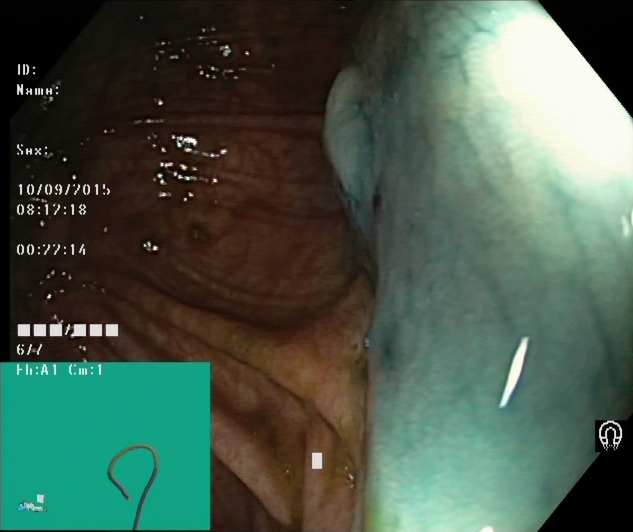Gastrointestinal endoscopy image of the lower GI tract showing dyed and lifted polyp (pre-resection).